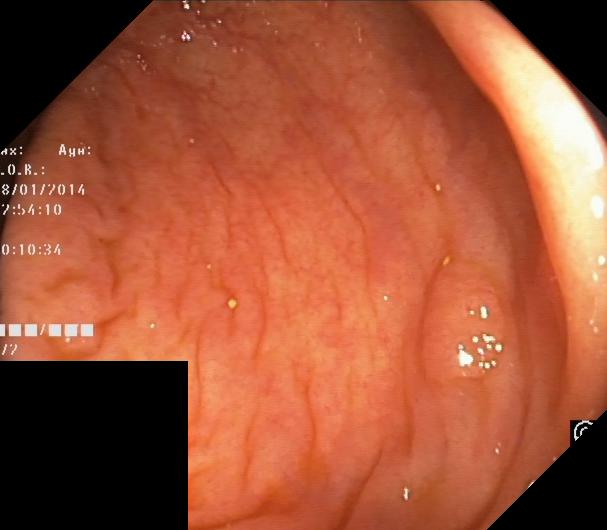This endoscopy frame of the lower GI tract shows colorectal polyp(s).